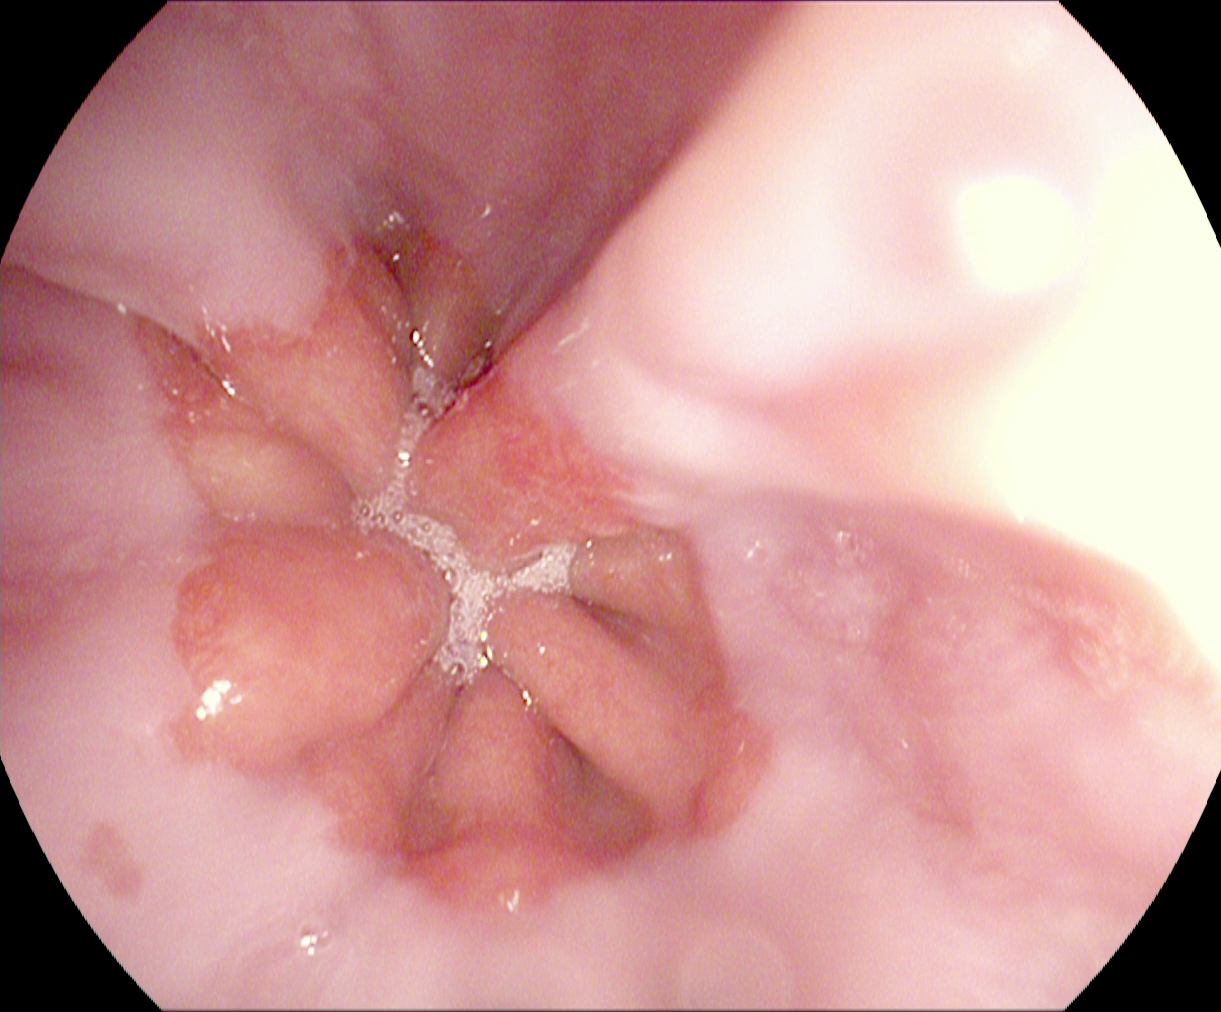Gastroscopy. Tract: upper GI tract. Anatomical landmark. Finding: Z-line (gastroesophageal junction).